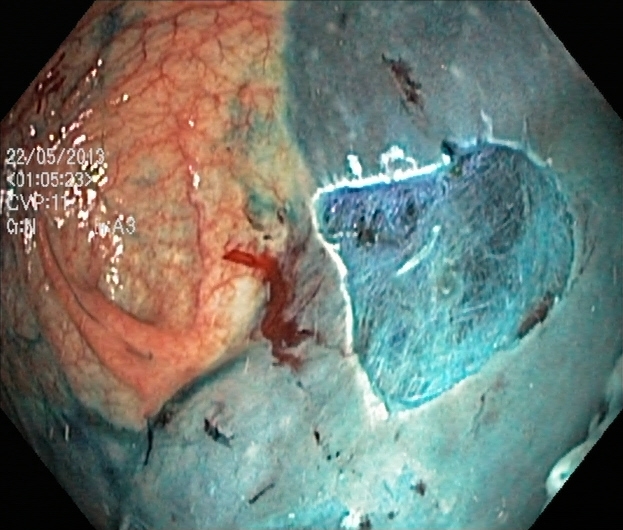modality: lower gastrointestinal endoscopy | finding: dyed resection margins (post-polypectomy)